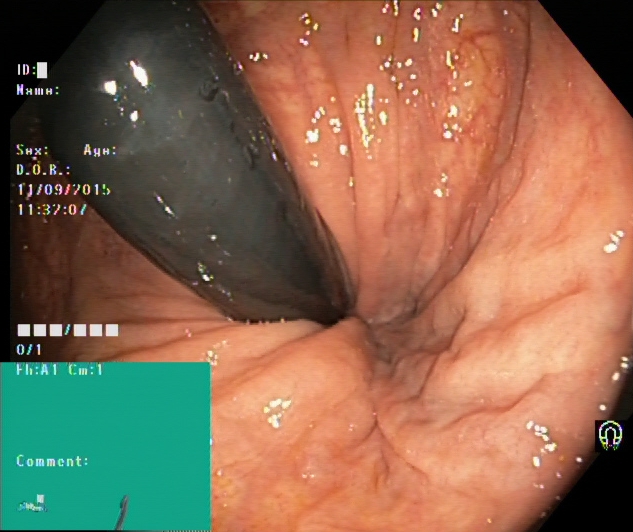Endoscopic image of the lower GI tract showing rectum in retroflexion.